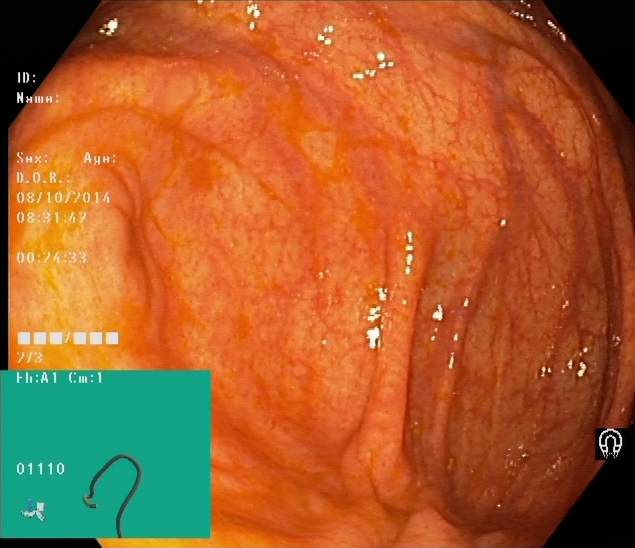PROCEDURE: Colonoscopy.
CATEGORY: Anatomical landmark.
FINDINGS: Cecum.